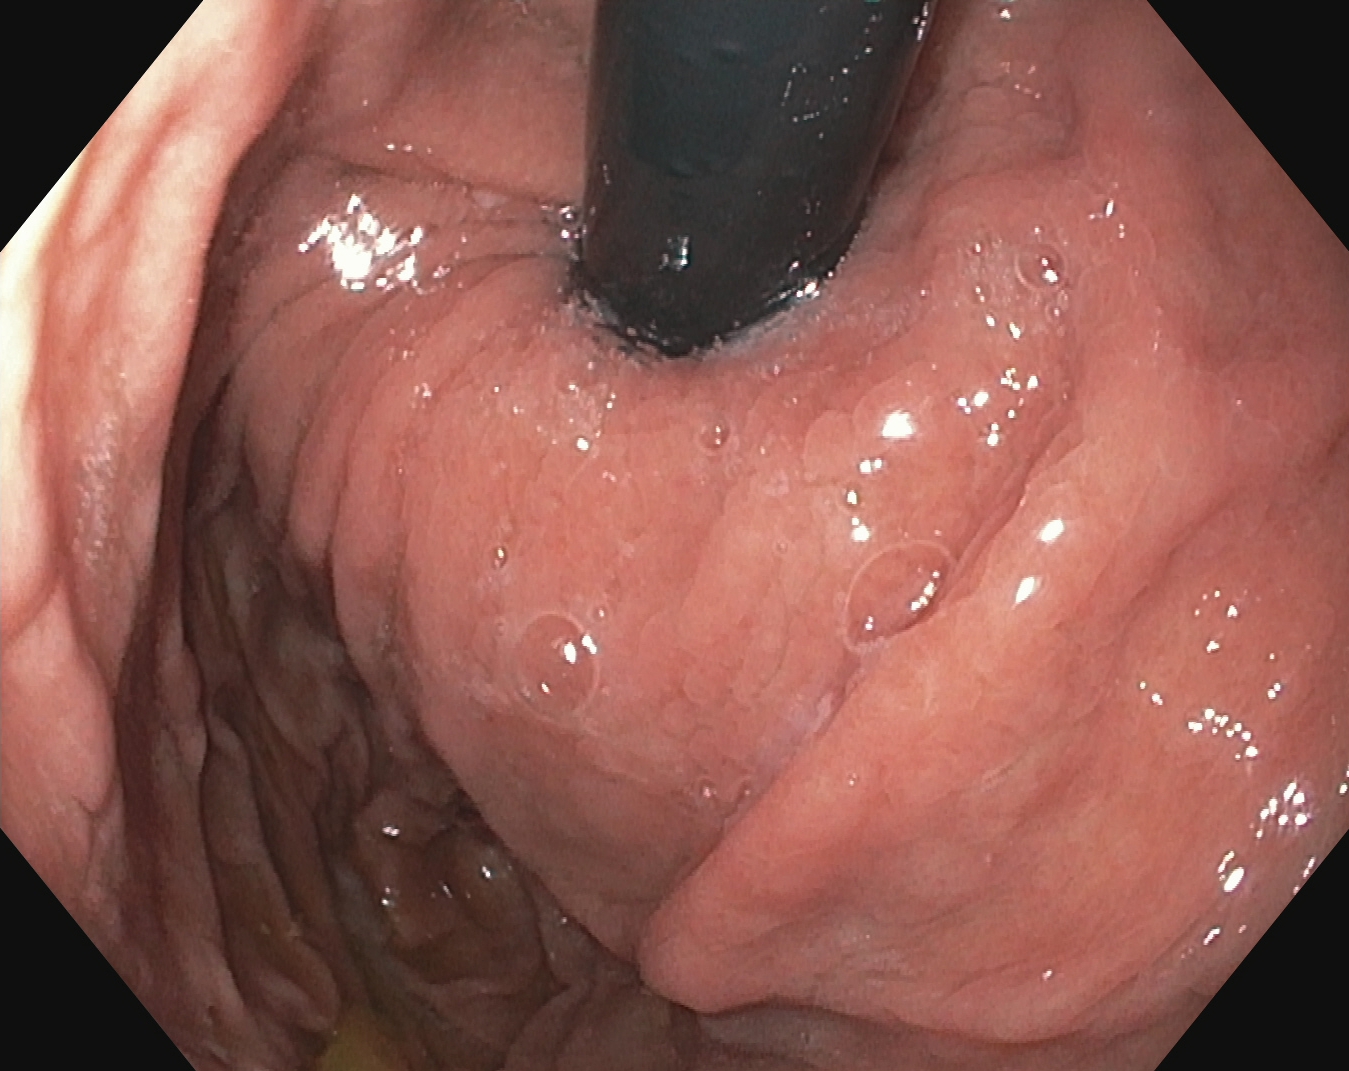{"modality": "upper-GI endoscopy", "finding": "stomach in retroflexion"}